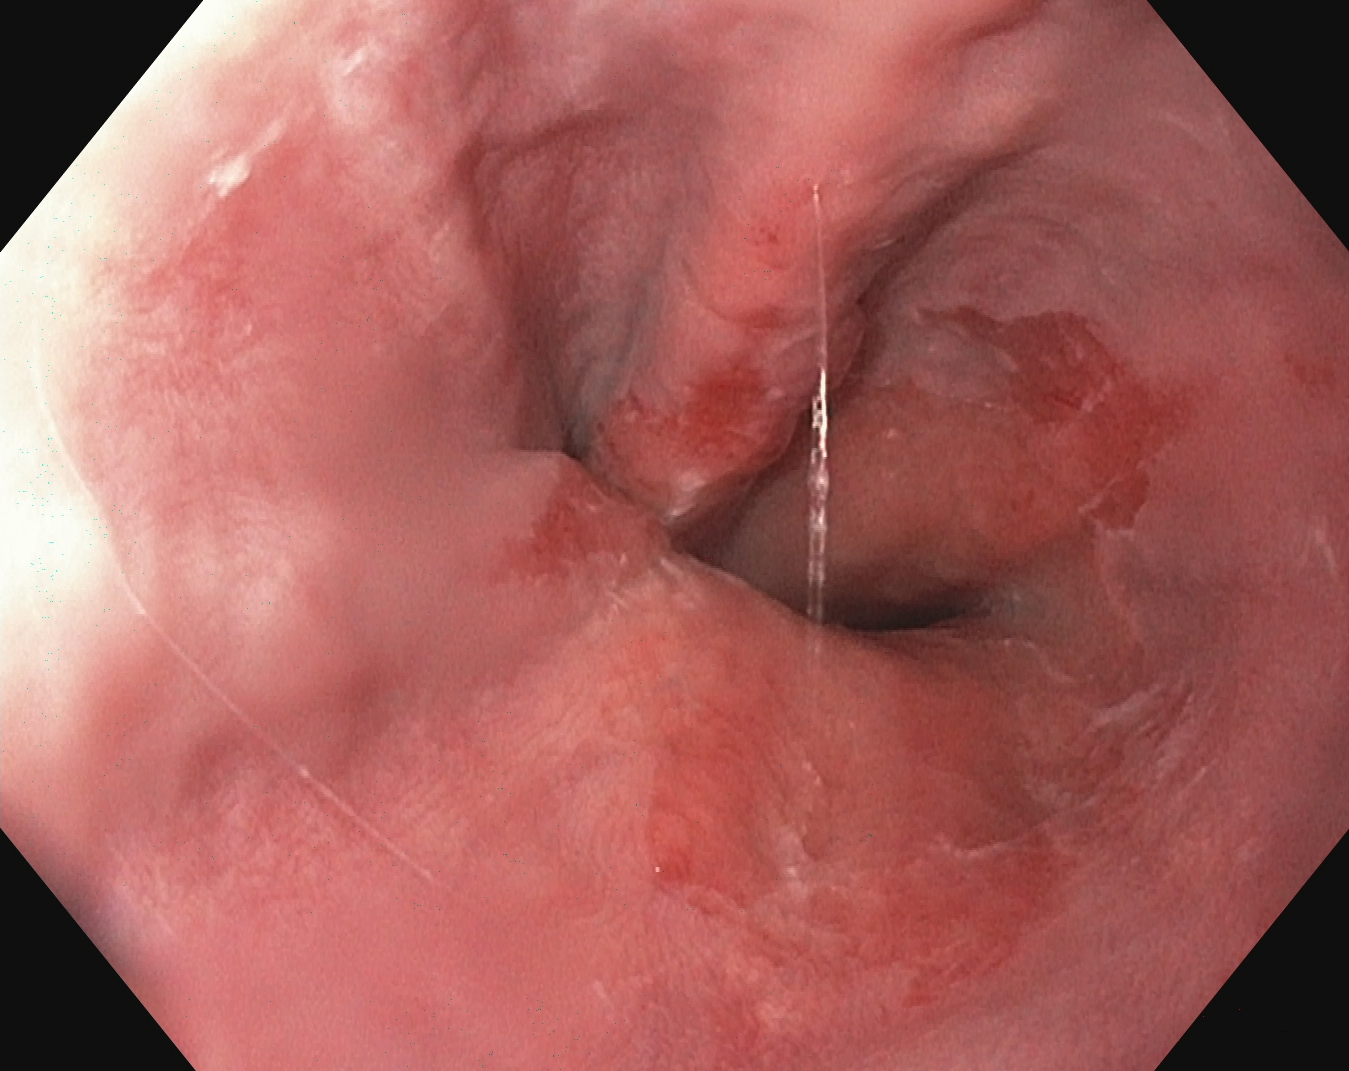This endoscopic image of the upper GI tract shows reflux esophagitis, Los Angeles grade B–D.